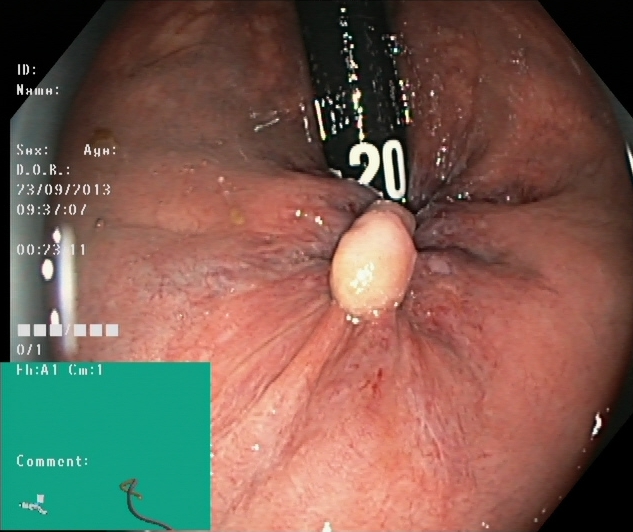Endoscopic frame showing colorectal polyp(s).